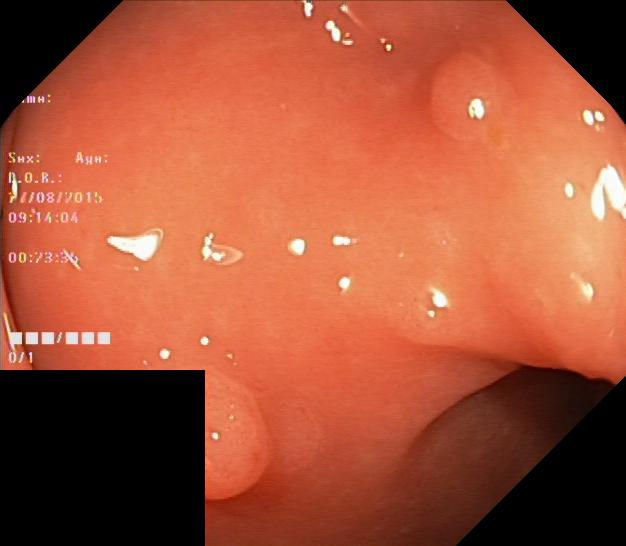Endoscopic image of the lower GI tract showing colorectal polyp(s).